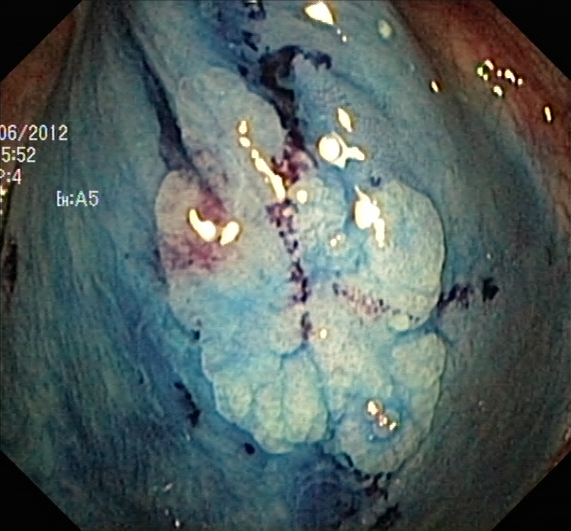PROCEDURE: Lower-GI endoscopy.
CATEGORY: Therapeutic intervention.
FINDINGS: Dyed and lifted polyp (pre-resection).